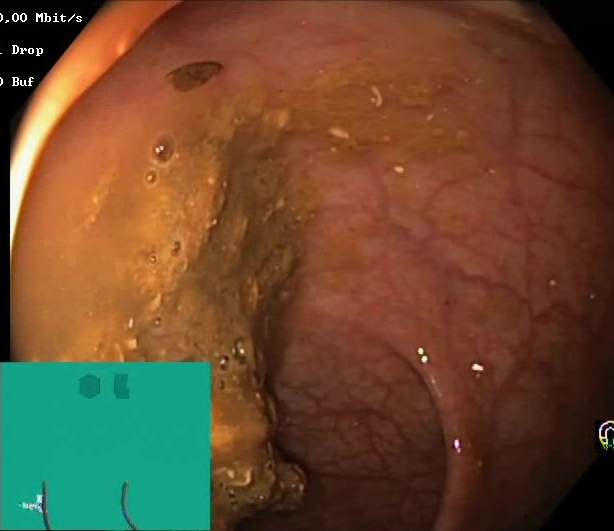Lower gastrointestinal endoscopy. Mucosal-view quality. Finding: BBPS score 0–1 (inadequate preparation).